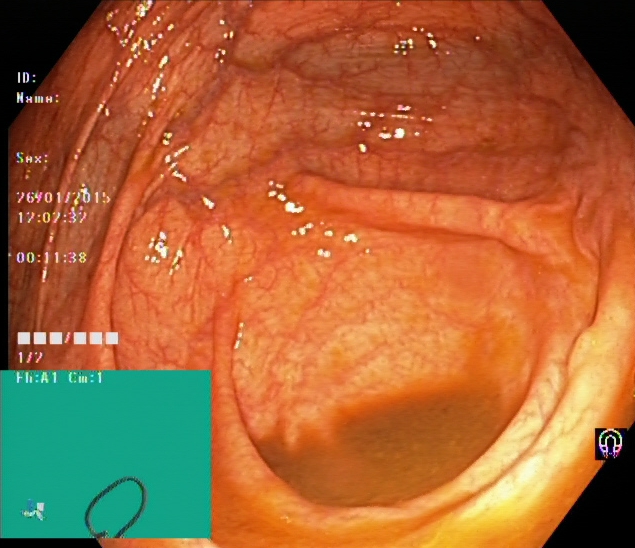Endoscopic frame of the lower GI tract showing cecum.